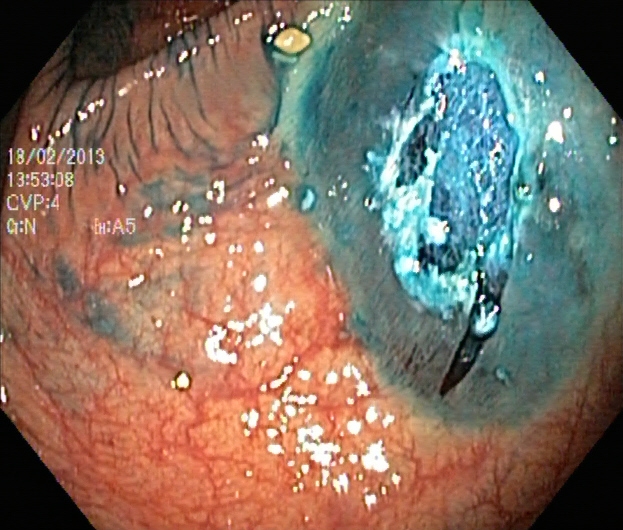Dyed resection margins (post-polypectomy).